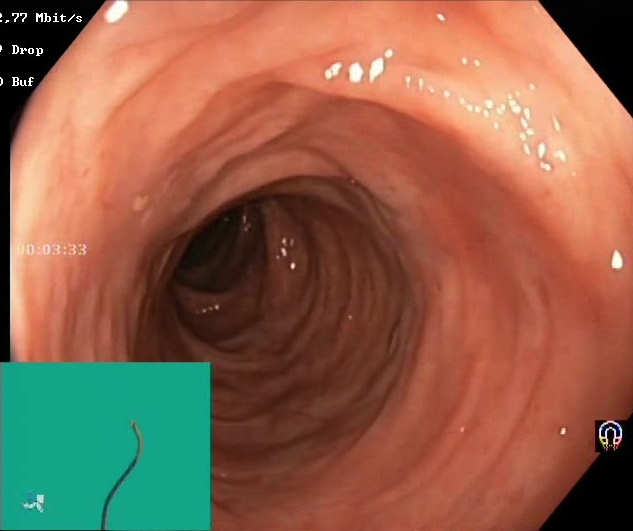Colonoscopy. Tract: lower GI tract. Finding: Boston Bowel Preparation Scale score 2–3 (adequate preparation).